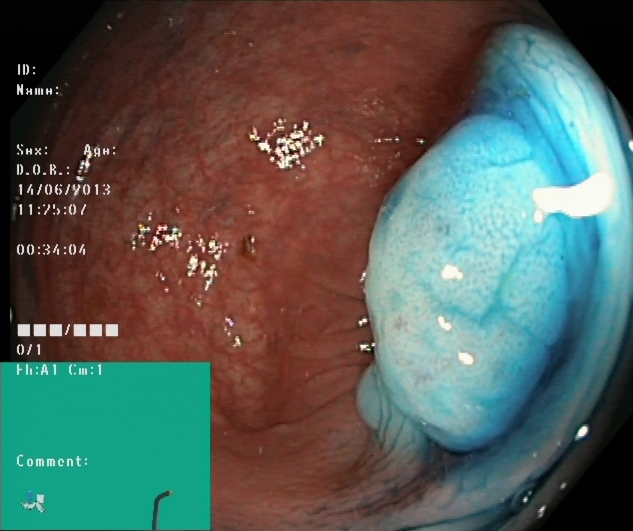modality: lower gastrointestinal endoscopy; tract: lower GI tract; finding: dyed and lifted polyp (pre-resection)